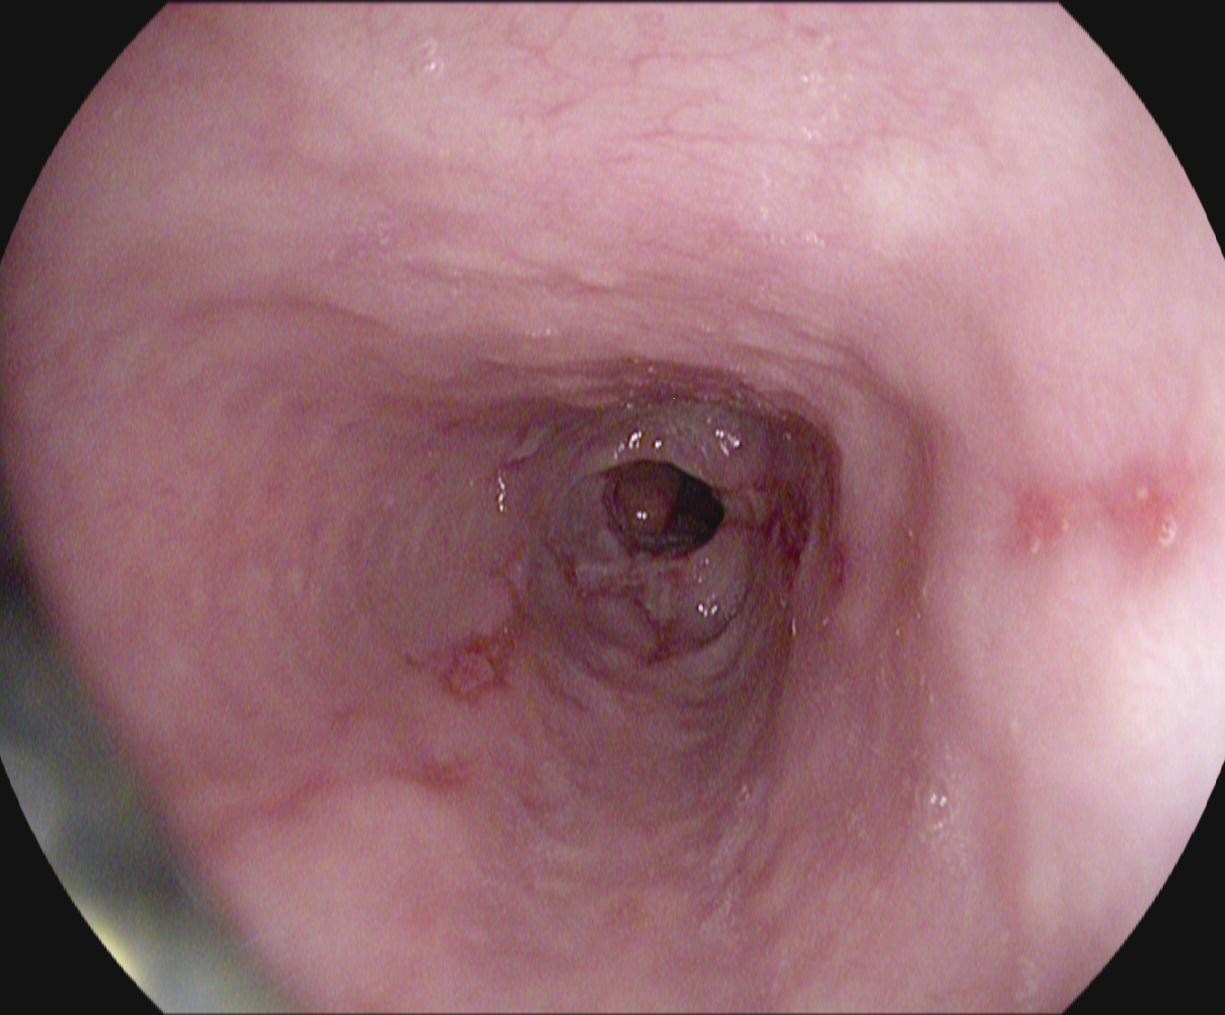PROCEDURE: Gastroscopy.
FINDINGS: Reflux esophagitis, LA grade B–D.